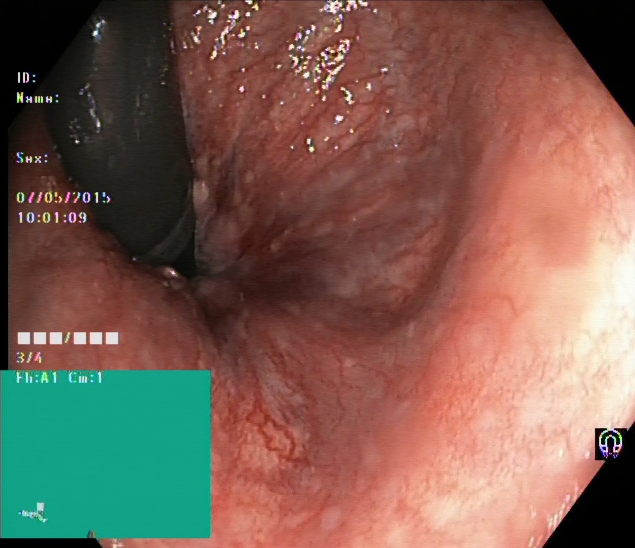PROCEDURE: Lower-GI endoscopy.
CATEGORY: Anatomical landmark.
FINDINGS: Rectum in retroflexion.